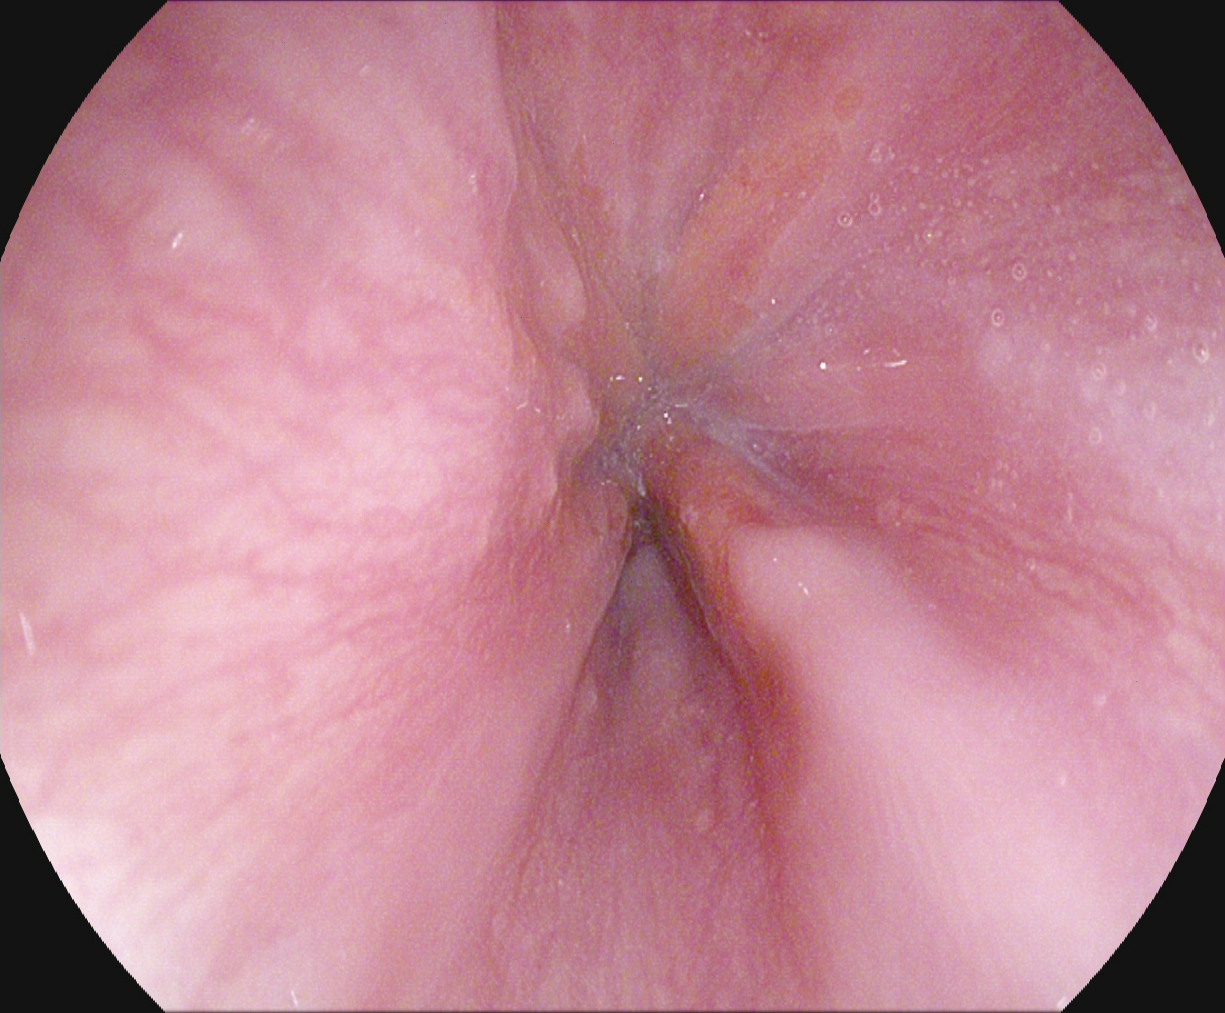{"modality": "EGD", "tract": "upper GI tract", "finding": "Z-line (gastroesophageal junction)"}